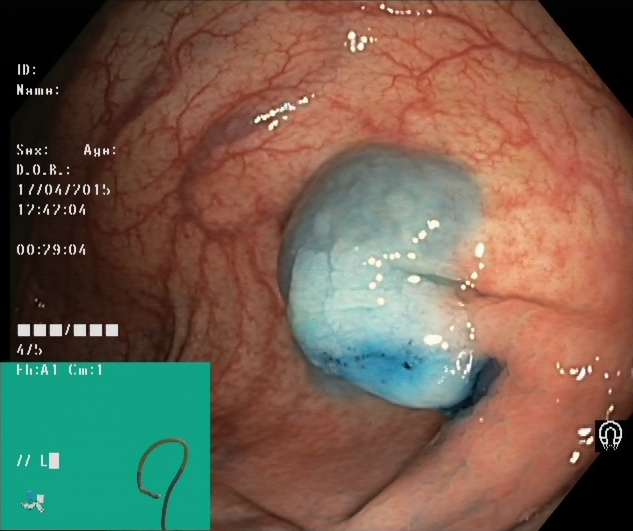Colonoscopy. Therapeutic intervention. Finding: dyed and lifted polyp (pre-resection).